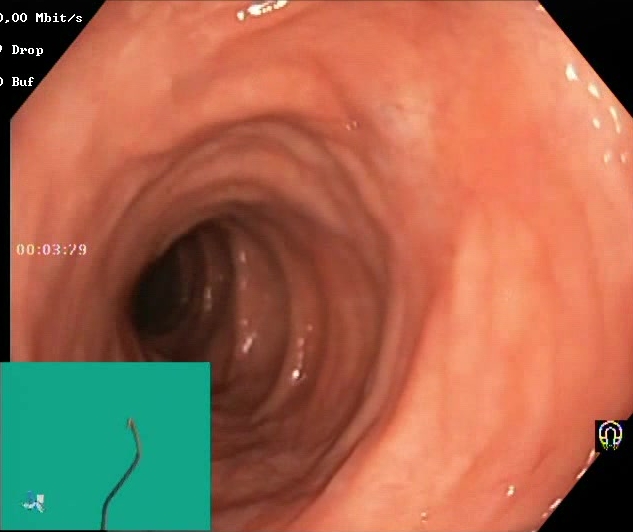Boston Bowel Preparation Scale score 2–3 (adequate preparation).